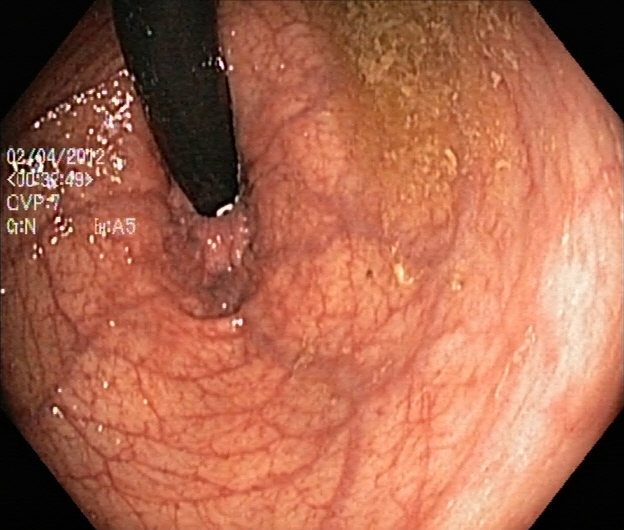This endoscopic image of the lower GI tract shows rectum in retroflexion.